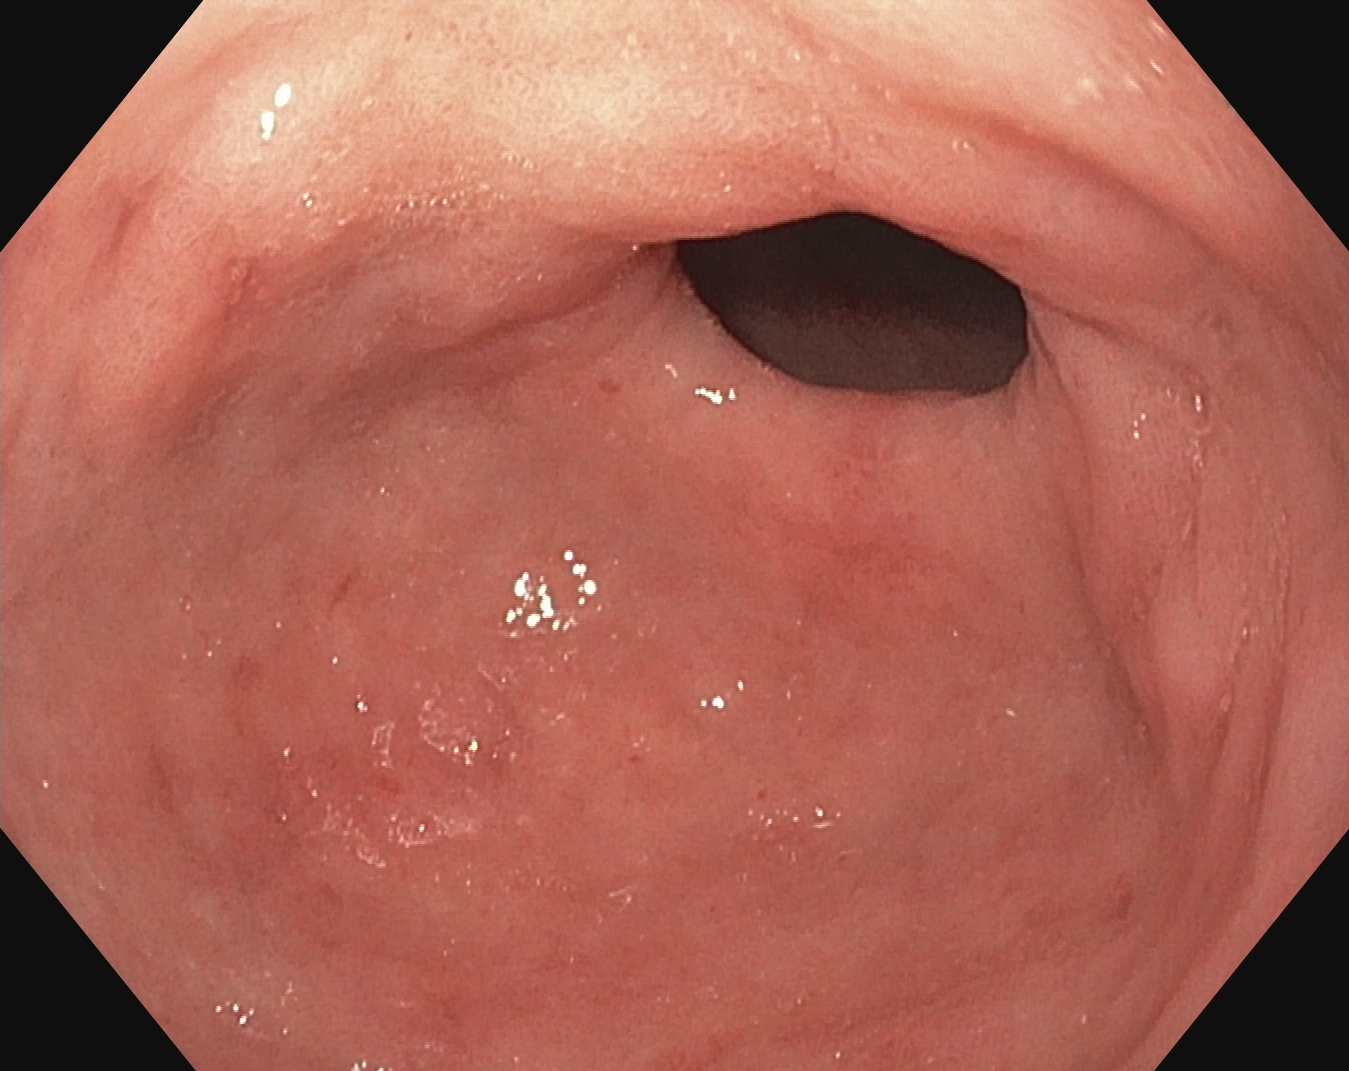Pylorus.